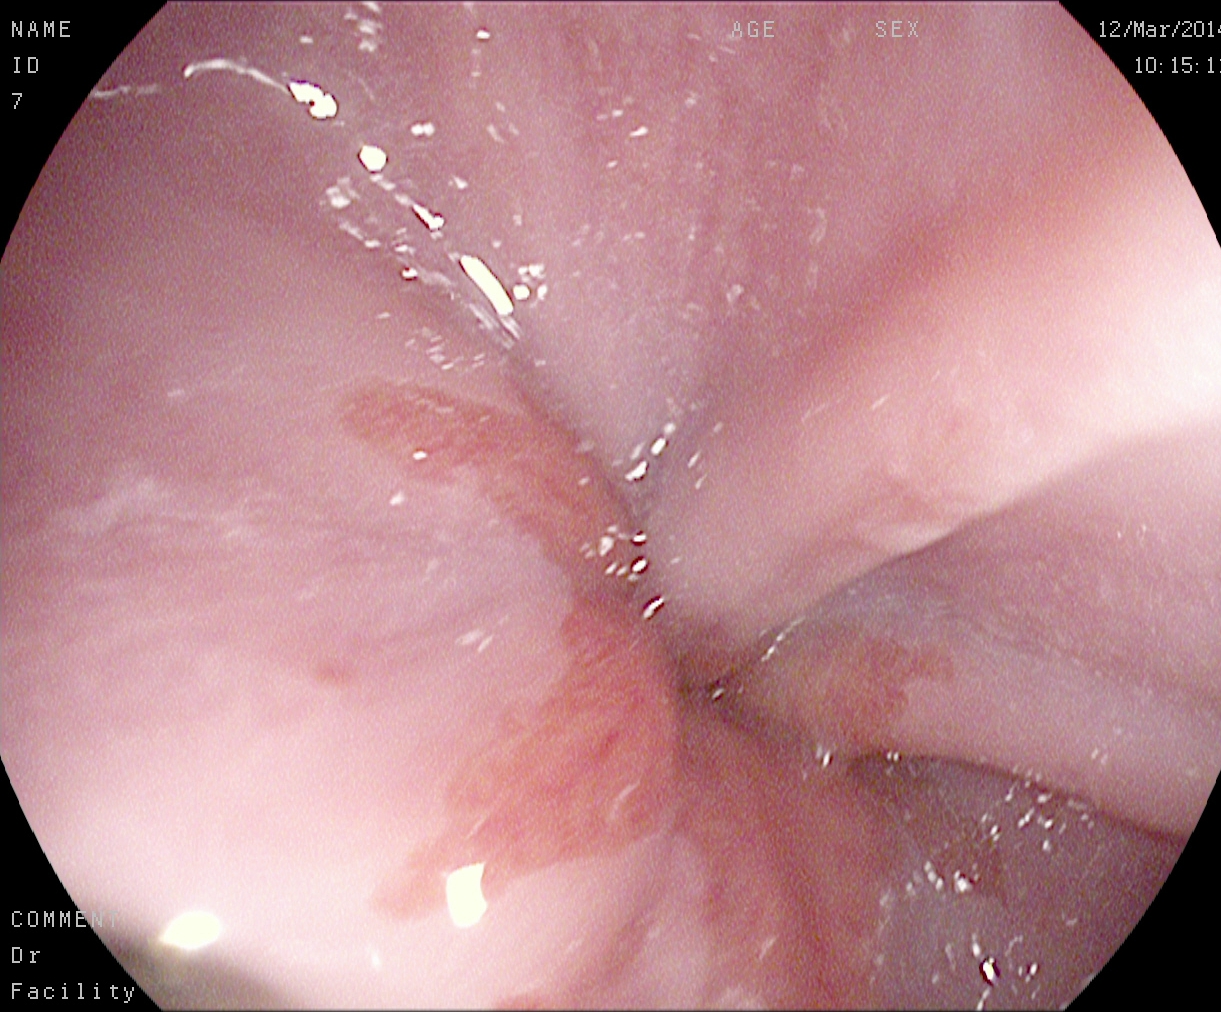Gastrointestinal endoscopy image of the upper GI tract showing Z-line (gastroesophageal junction).